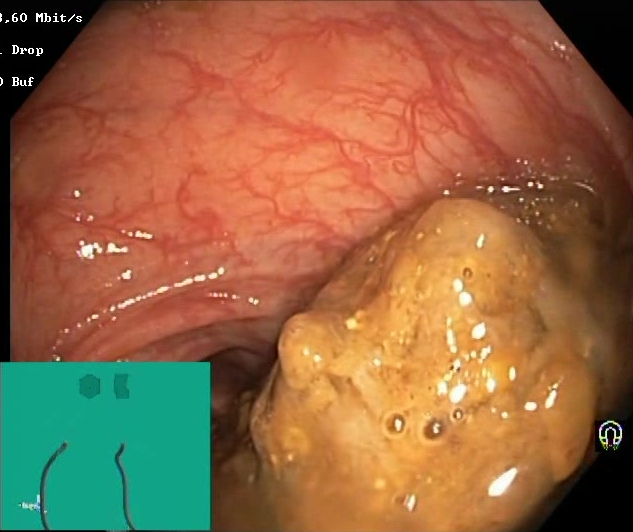This endoscopy frame of the lower GI tract shows Boston Bowel Preparation Scale score 0–1 (inadequate preparation).